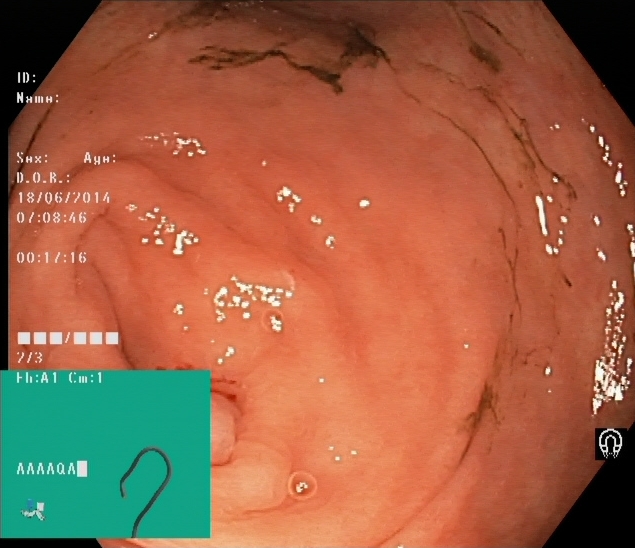This endoscopy frame shows cecum.